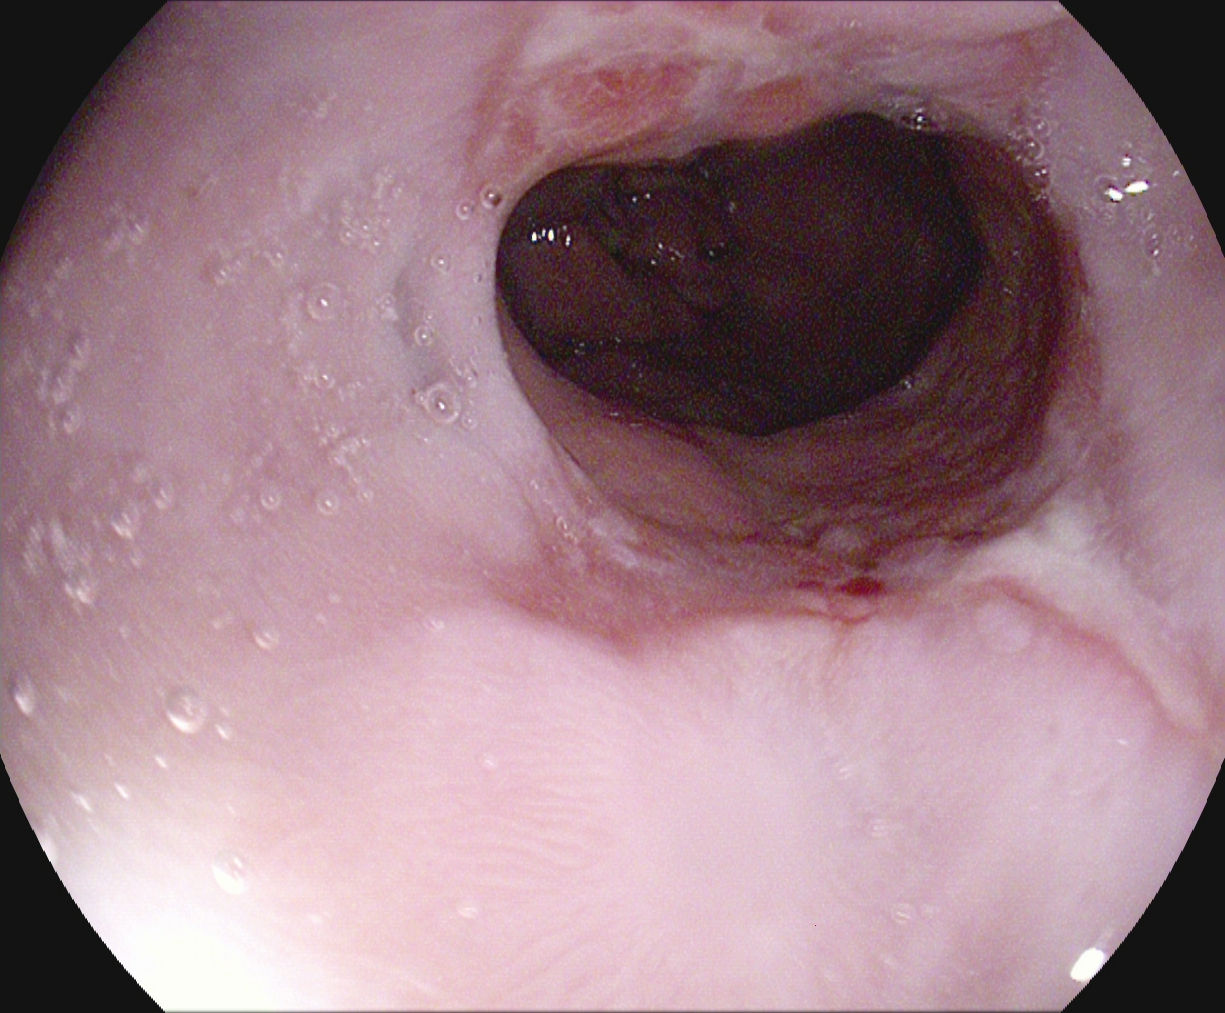modality: gastroscopy
tract: upper GI tract
finding: reflux esophagitis, LA grade B–D